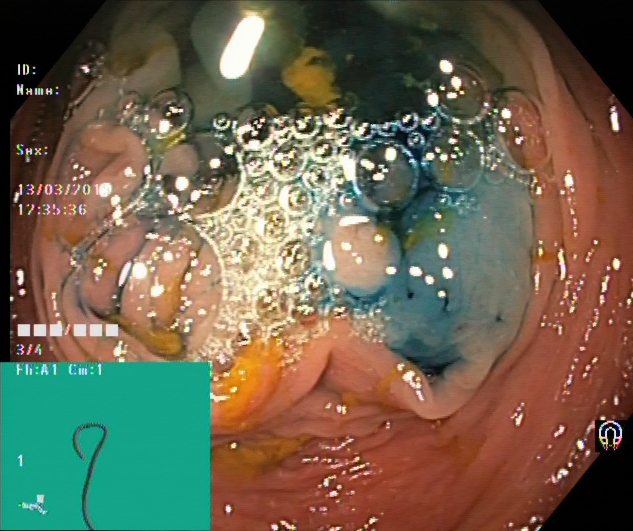{"modality": "lower gastrointestinal endoscopy", "tract": "lower GI tract", "finding": "dyed and lifted polyp (pre-resection)"}